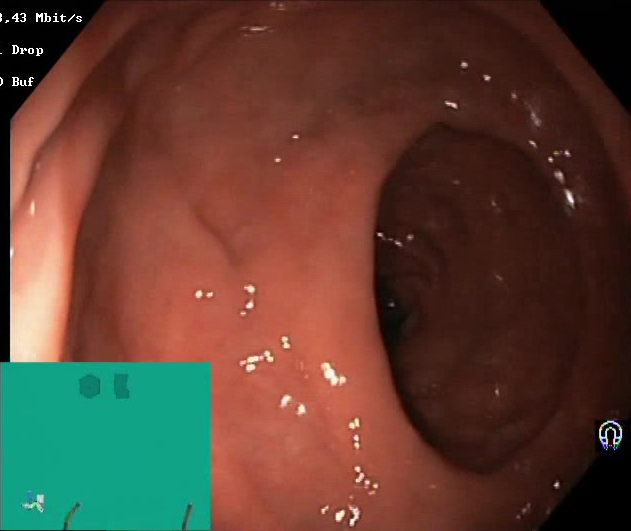modality: colonoscopy; finding: BBPS score 2–3 (adequate preparation)